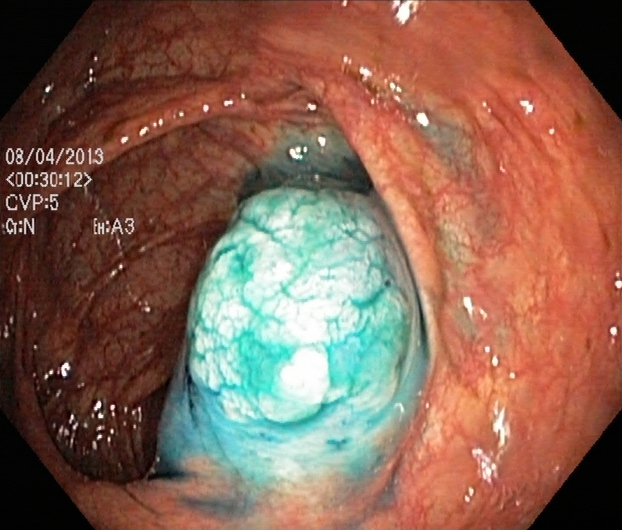{"modality": "lower gastrointestinal endoscopy", "tract": "lower GI tract", "finding": "dyed and lifted polyp (pre-resection)"}